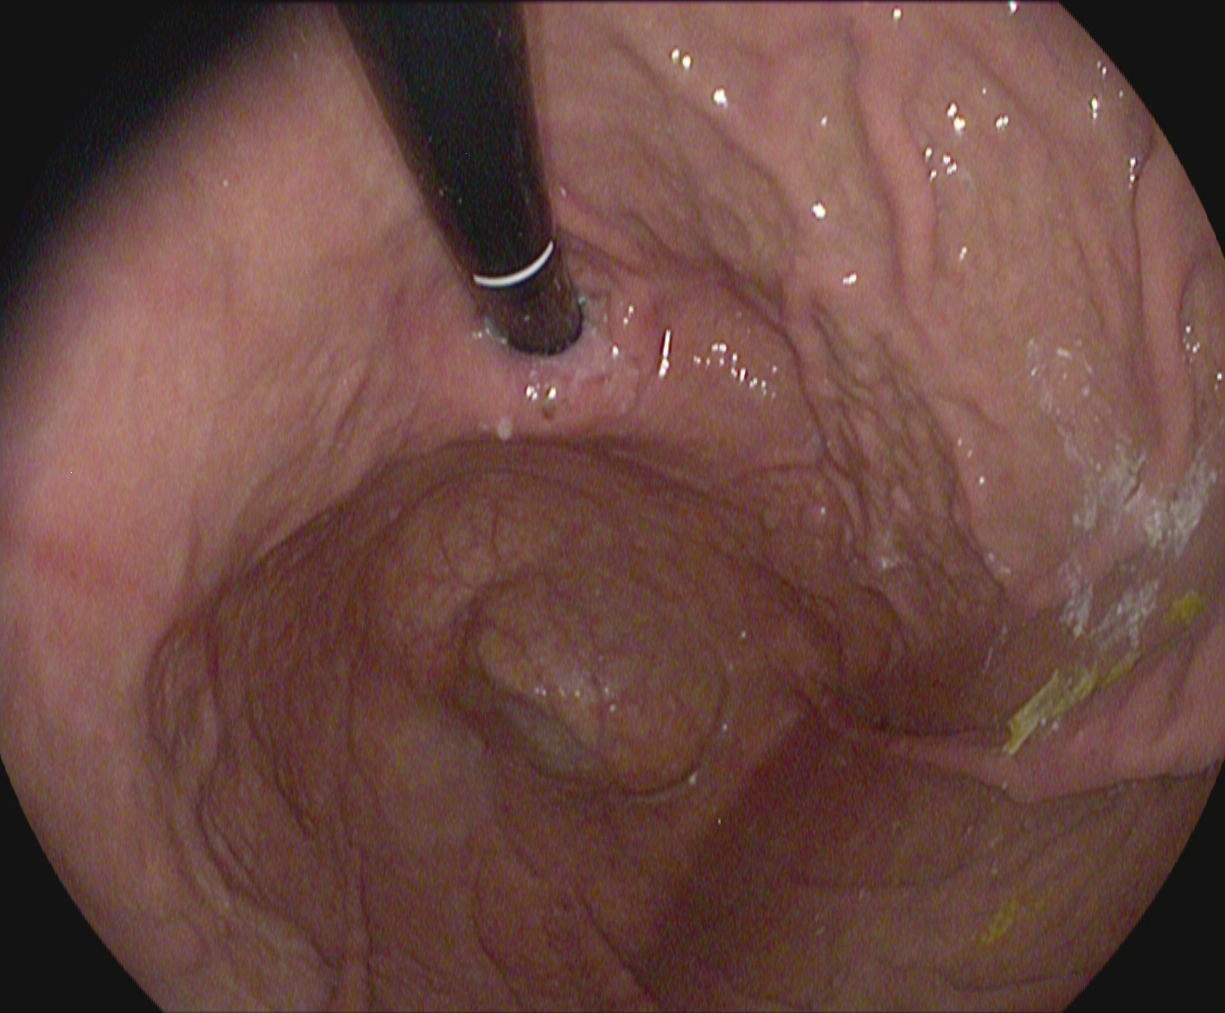{"modality": "gastroscopy", "tract": "upper GI tract", "category": "anatomical landmark", "finding": "stomach in retroflexion"}